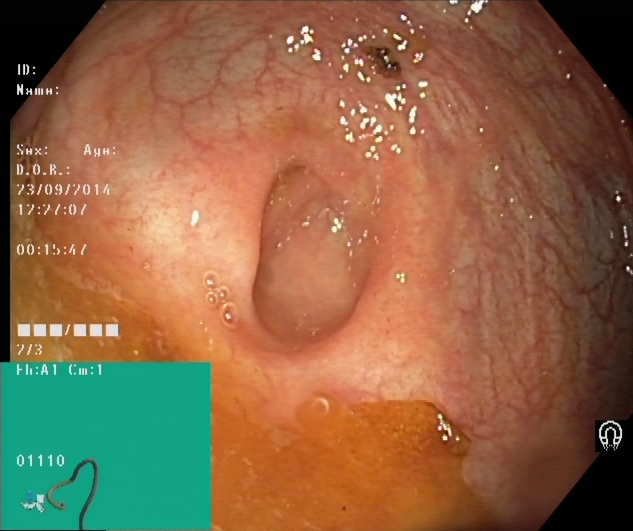This endoscopy frame of the lower GI tract shows cecum.